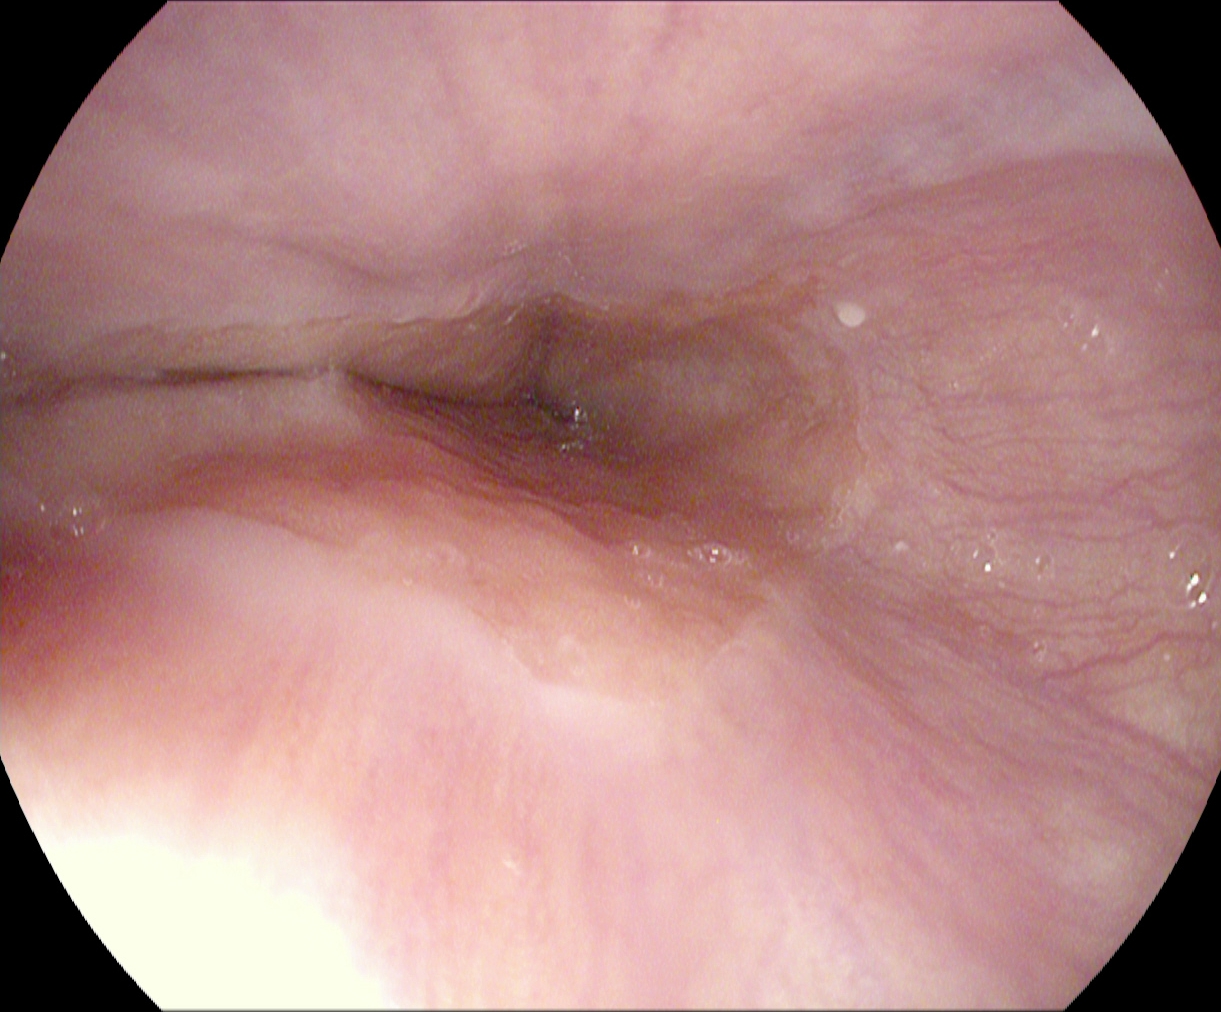PROCEDURE: EGD.
FINDINGS: Z-line (gastroesophageal junction).